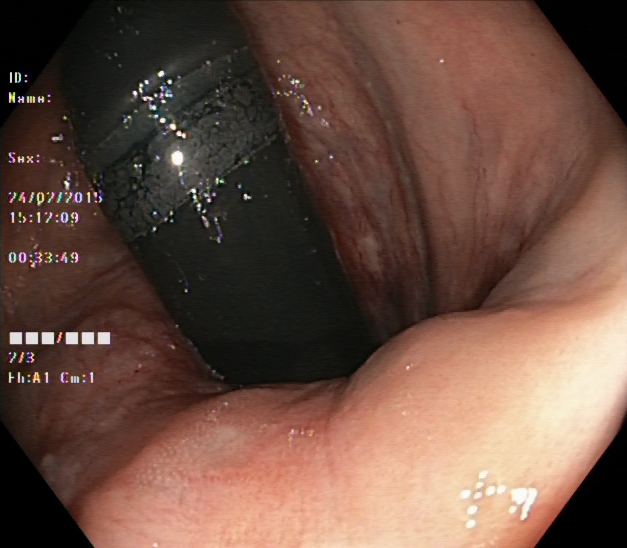Colonoscopy image of the lower GI tract showing rectum in retroflexion.